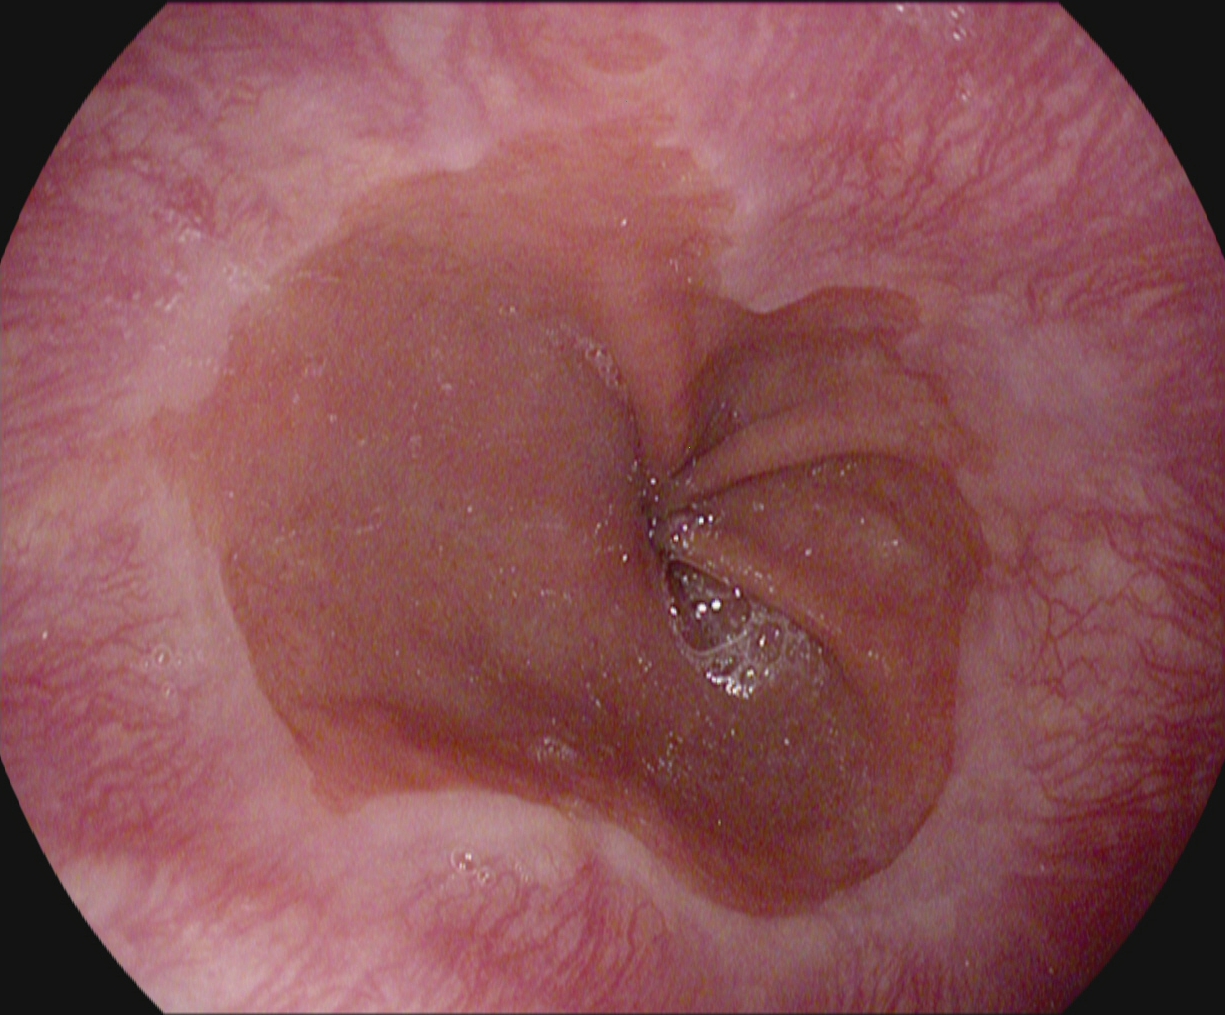Endoscopy image of the upper GI tract showing Z-line (gastroesophageal junction).